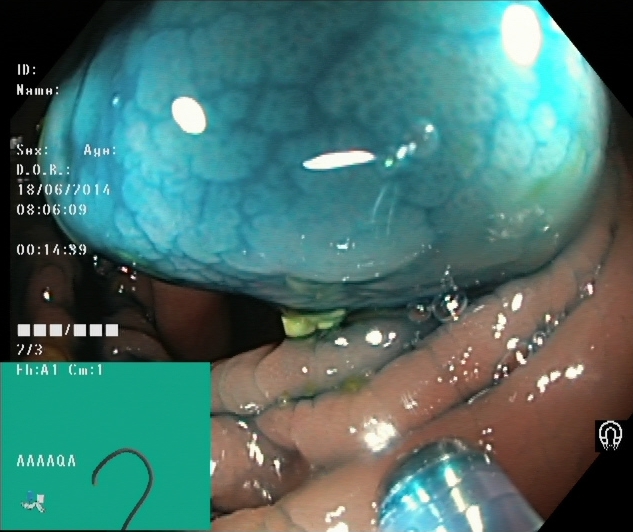{"modality": "colonoscopy", "finding": "dyed and lifted polyp (pre-resection)"}